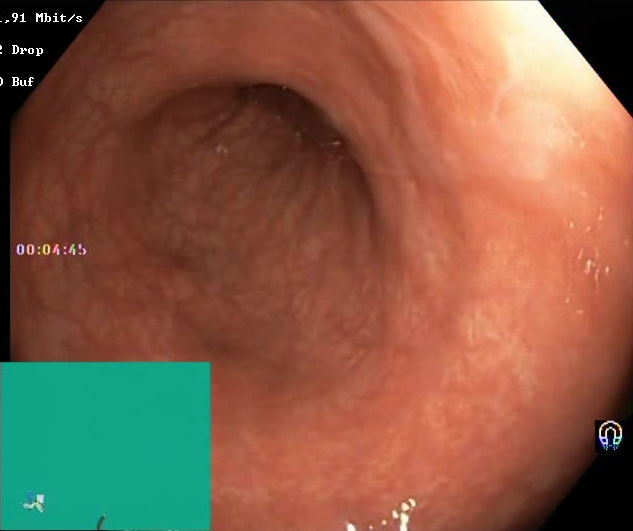Endoscopic image showing Boston Bowel Preparation Scale score 2–3 (adequate preparation).